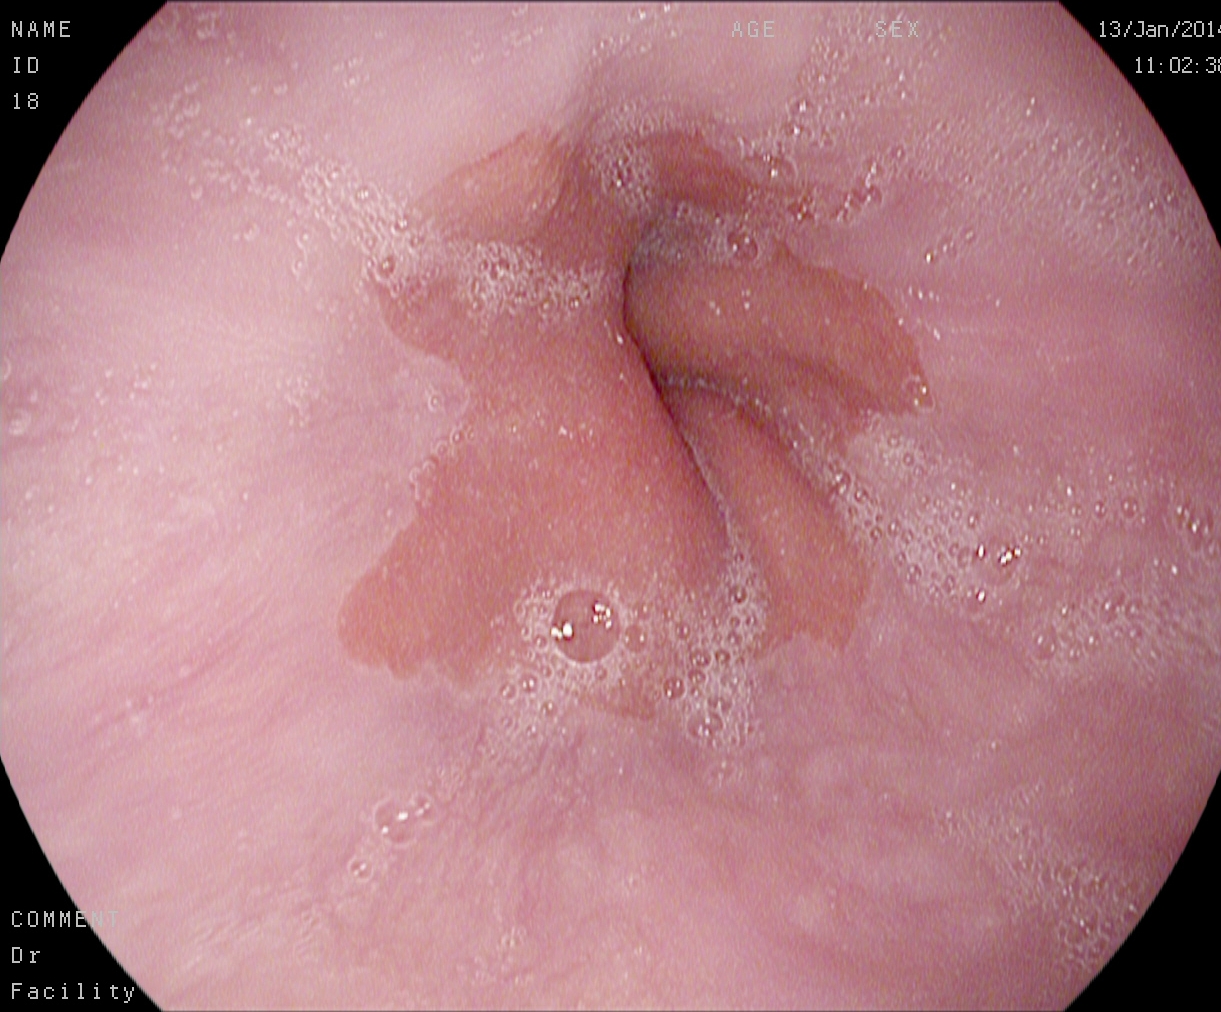EGD. Tract: upper GI tract. Finding: Z-line (gastroesophageal junction).